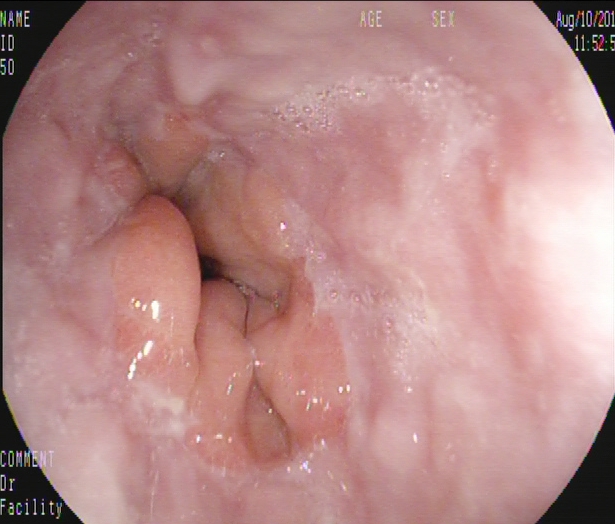Z-line (gastroesophageal junction).